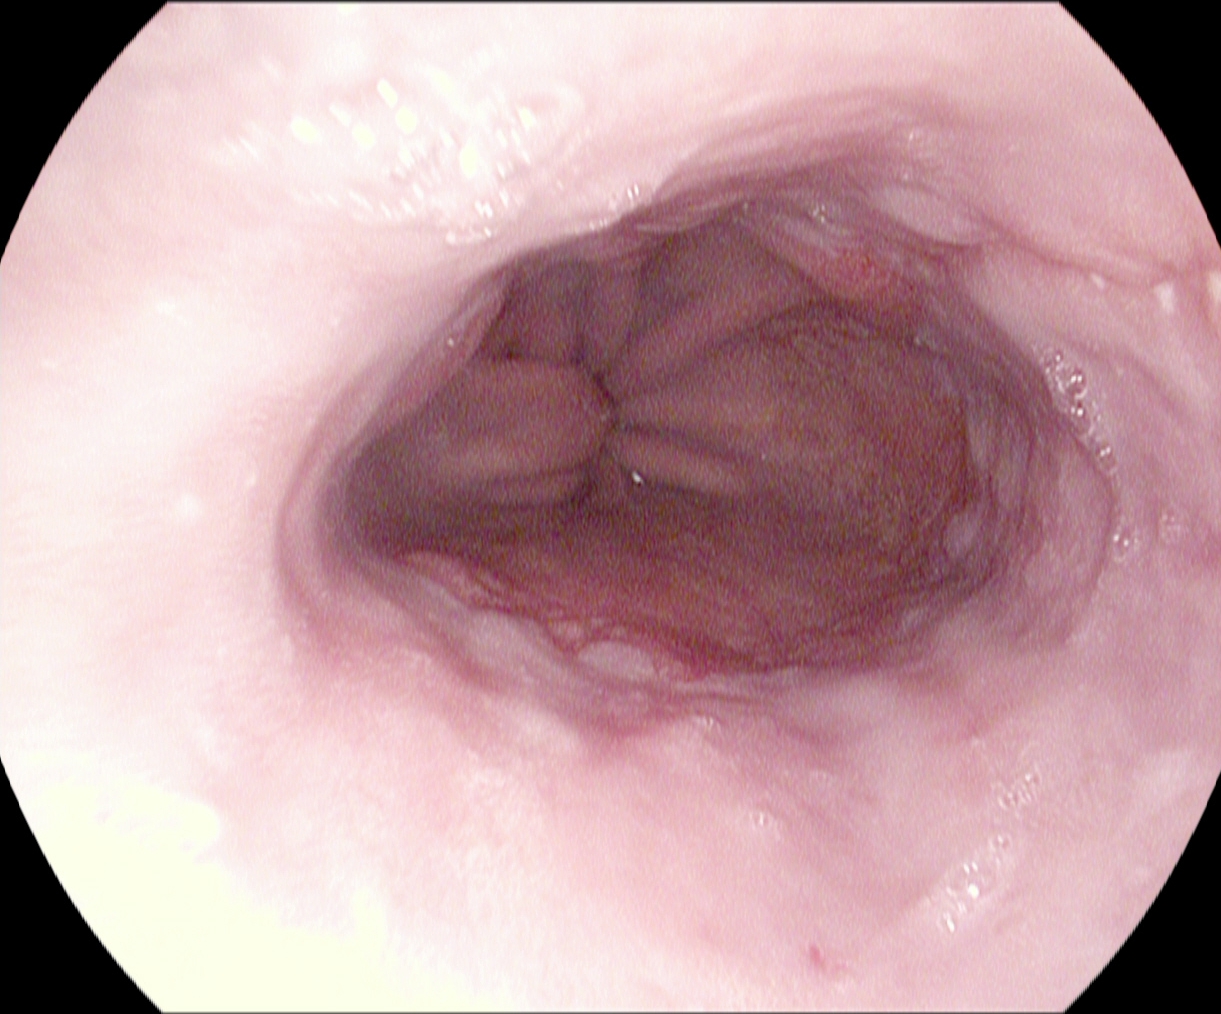Esophagogastroduodenoscopy. Pathological finding. Finding: reflux esophagitis, Los Angeles grade A.